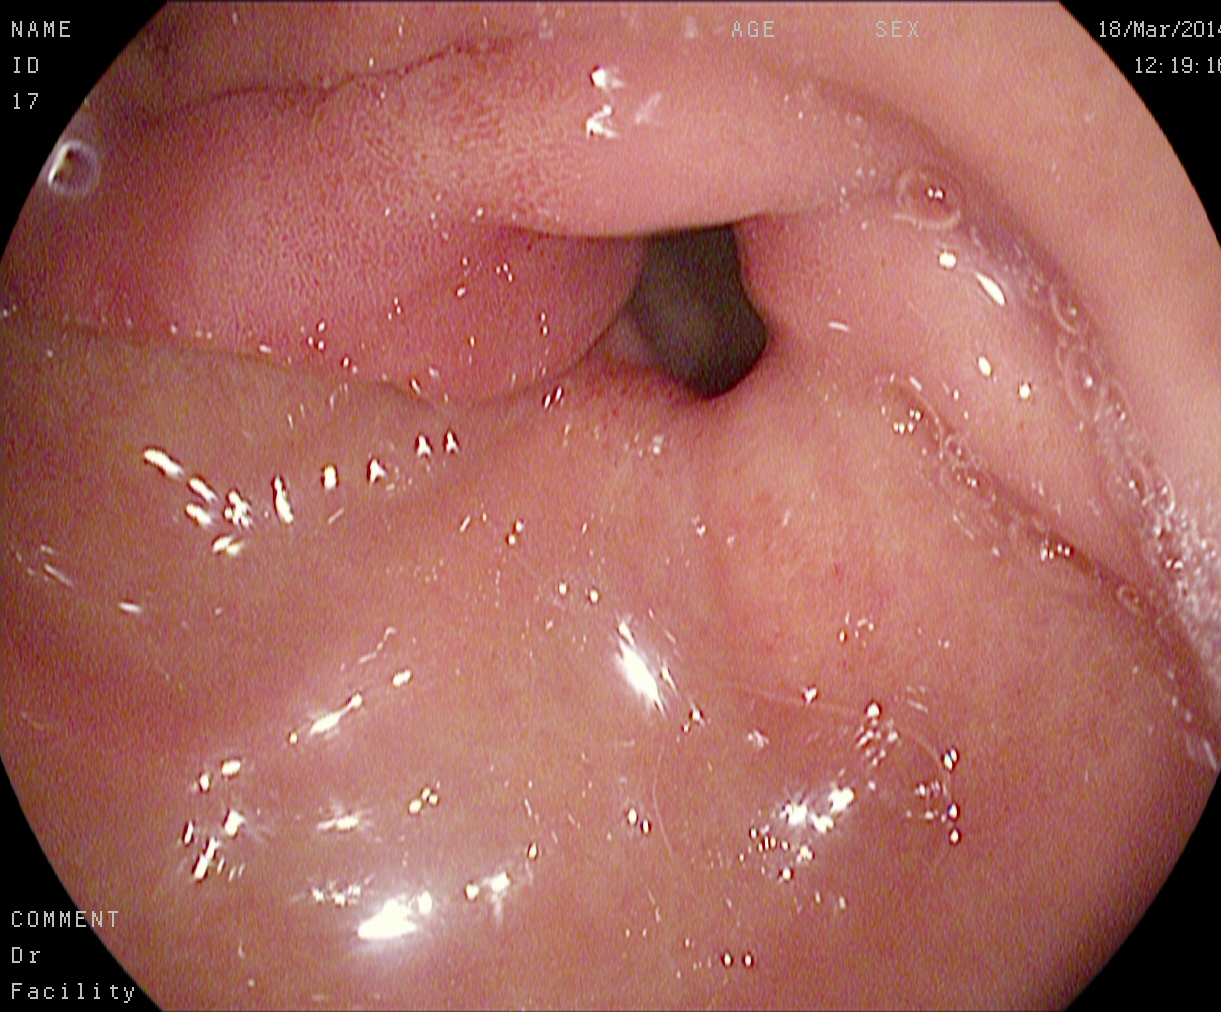Esophagogastroduodenoscopy. Finding: pylorus.